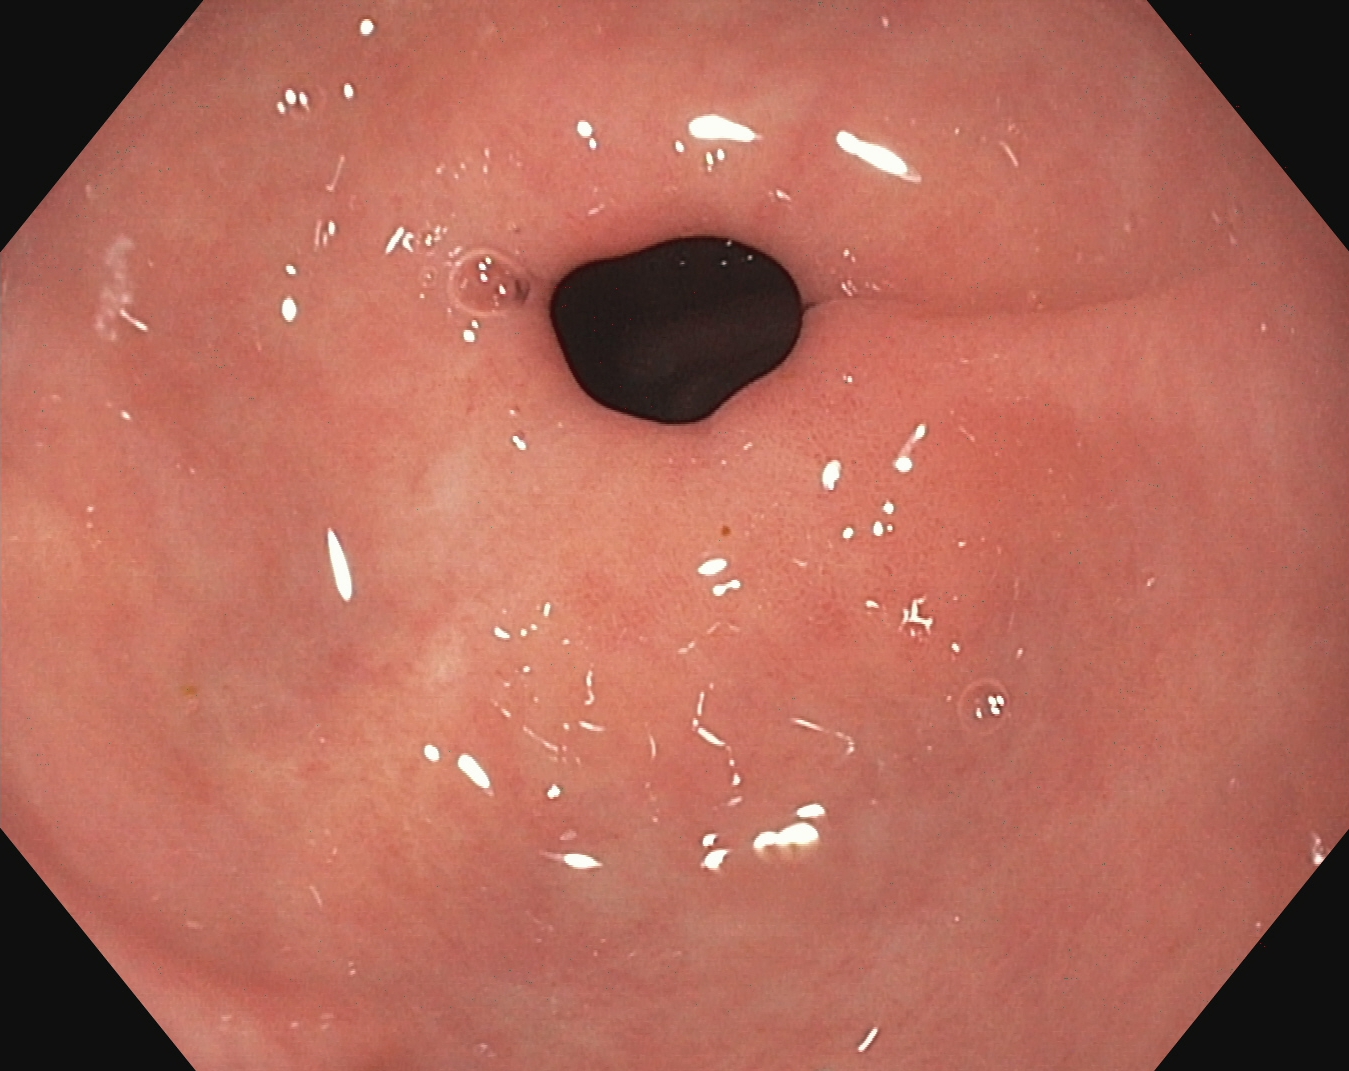modality: esophagogastroduodenoscopy; finding: pylorus